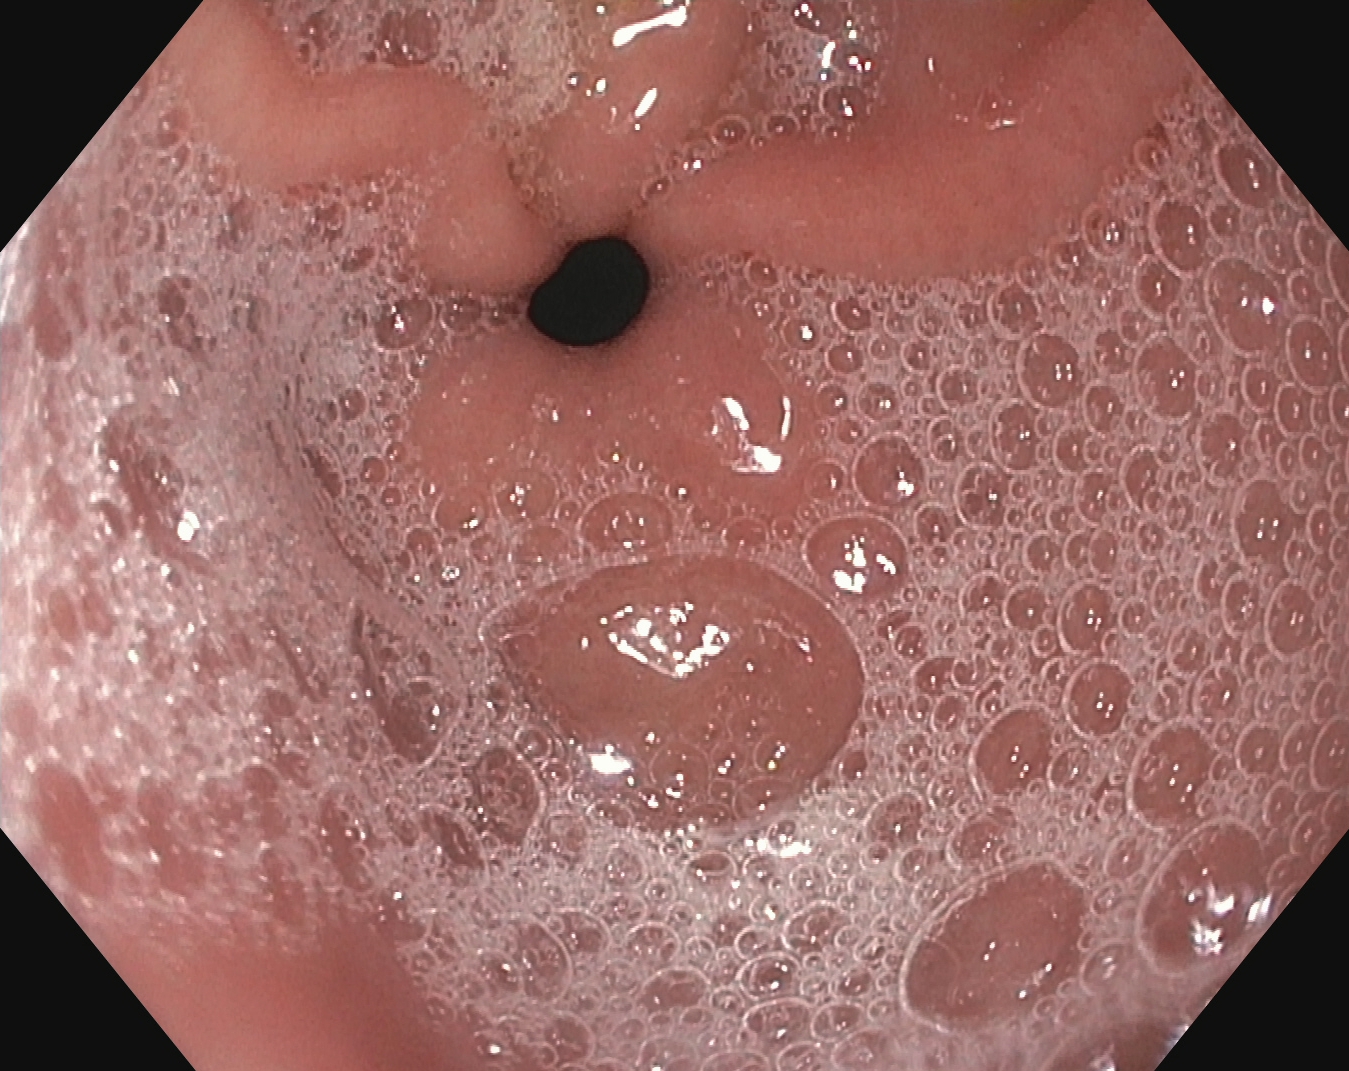This endoscopy frame of the upper GI tract shows pylorus.